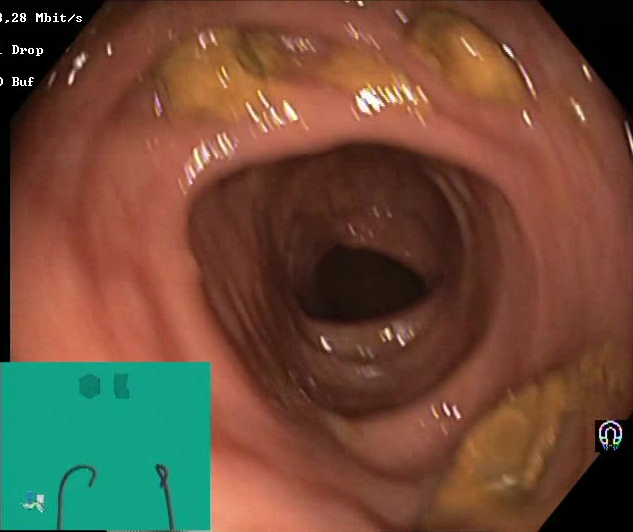PROCEDURE: Lower gastrointestinal endoscopy.
FINDINGS: Impacted stool.